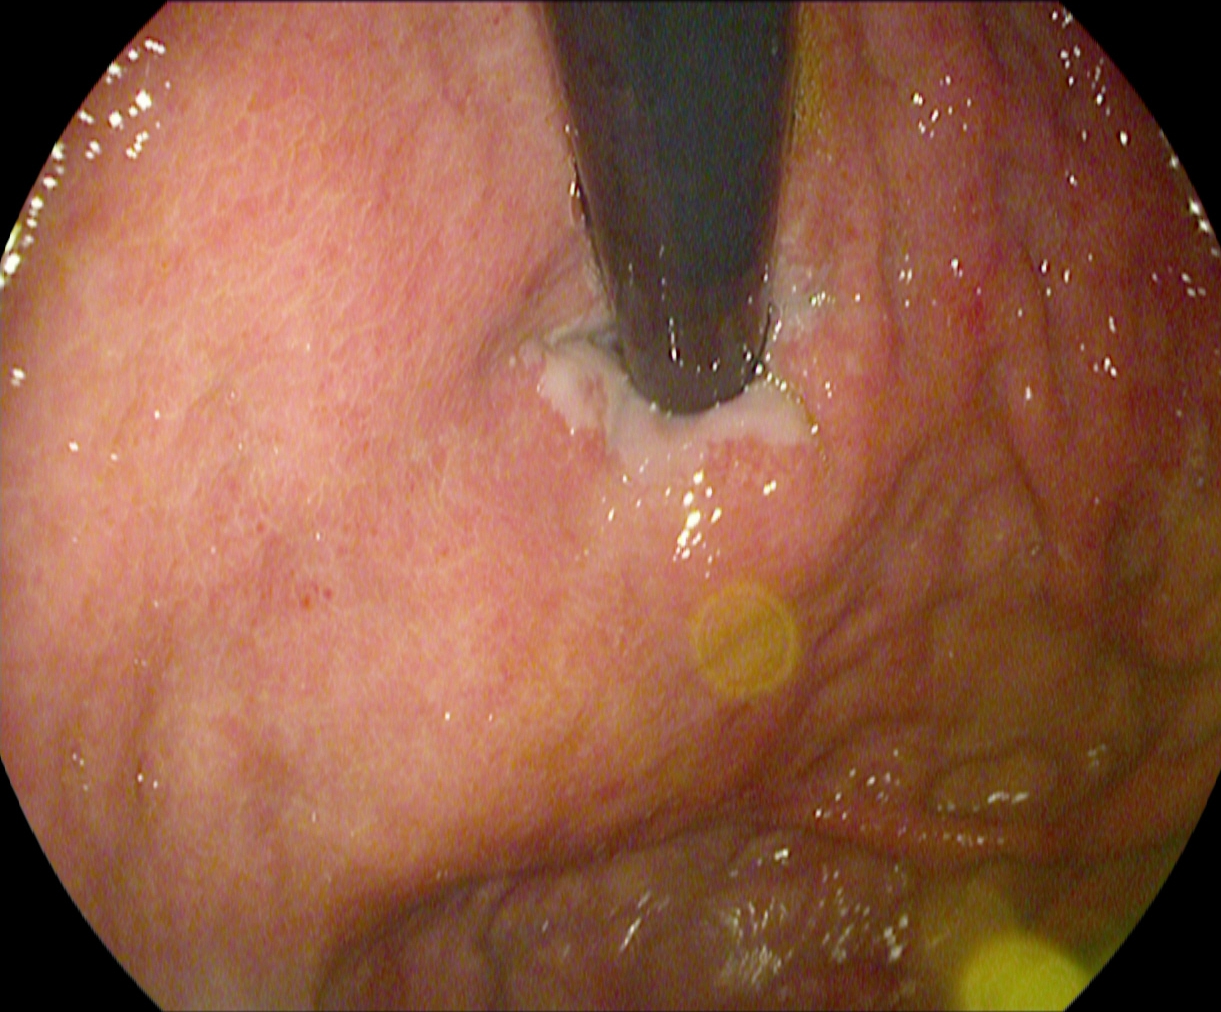{"modality": "esophagogastroduodenoscopy", "tract": "upper GI tract", "finding": "stomach in retroflexion"}